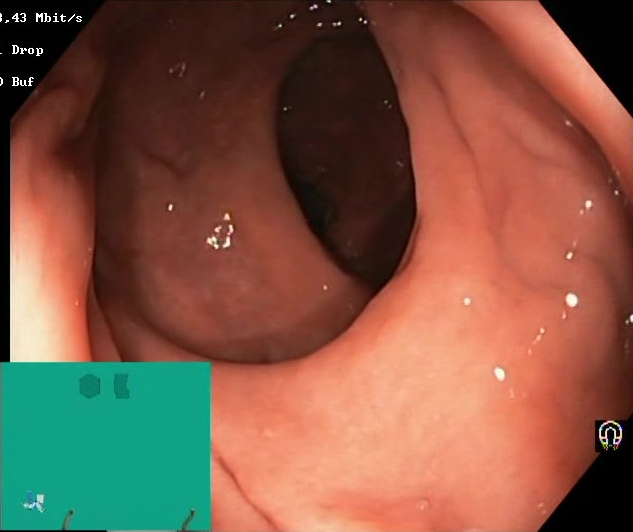modality: lower gastrointestinal endoscopy
tract: lower GI tract
finding: Boston Bowel Preparation Scale score 2–3 (adequate preparation)